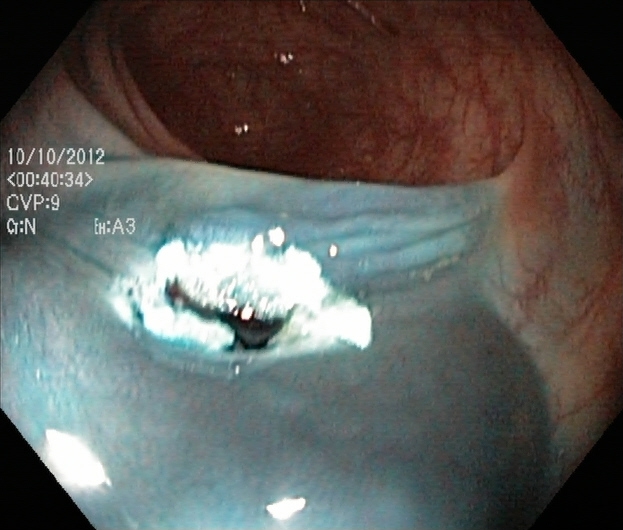PROCEDURE: Colonoscopy.
CATEGORY: Therapeutic intervention.
FINDINGS: Dyed resection margins (post-polypectomy).